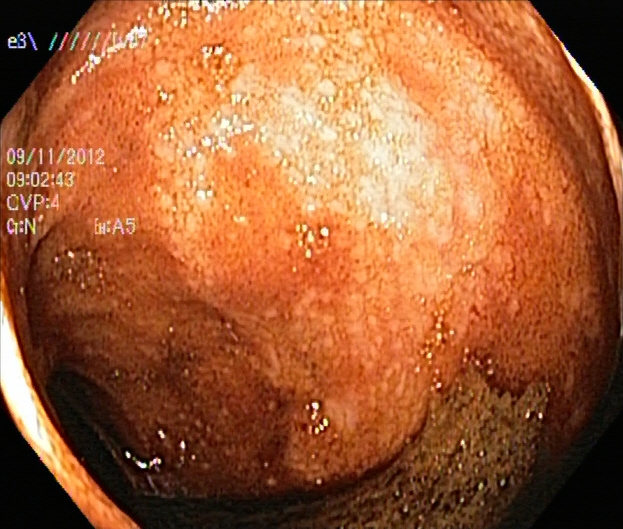modality: lower gastrointestinal endoscopy; finding: ulcerative colitis, Mayo endoscopic subscore 2